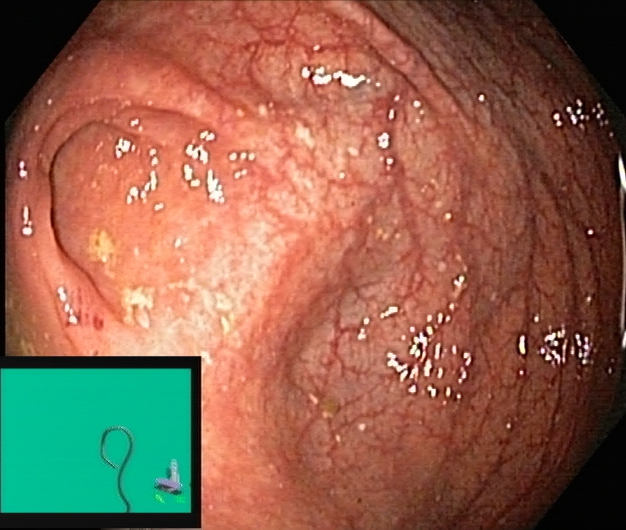{"modality": "colonoscopy", "category": "anatomical landmark", "finding": "cecum"}